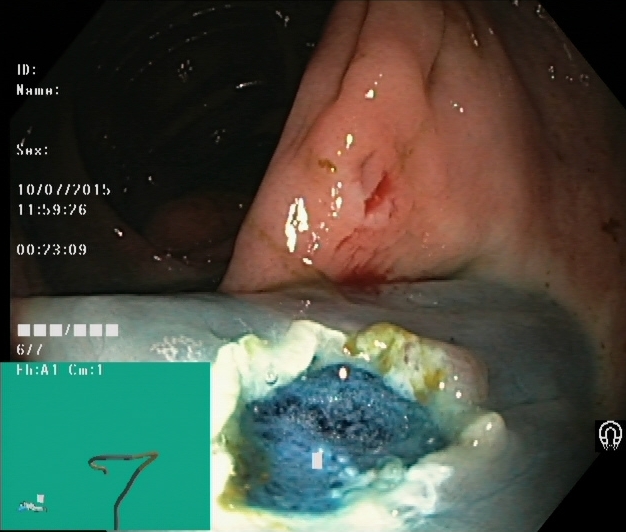Colonoscopy. Tract: lower GI tract. Therapeutic intervention. Finding: dyed resection margins (post-polypectomy).